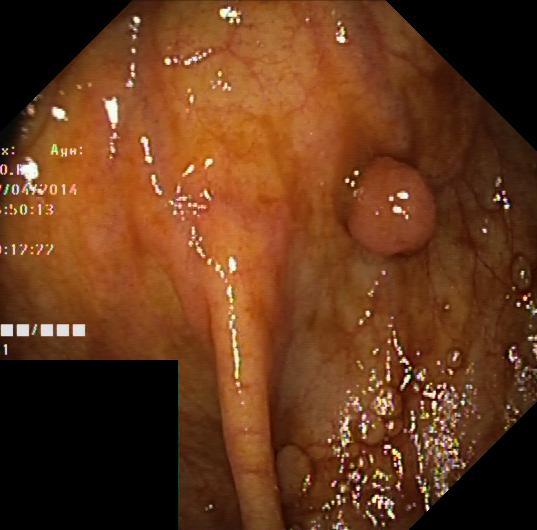colorectal polyp(s).